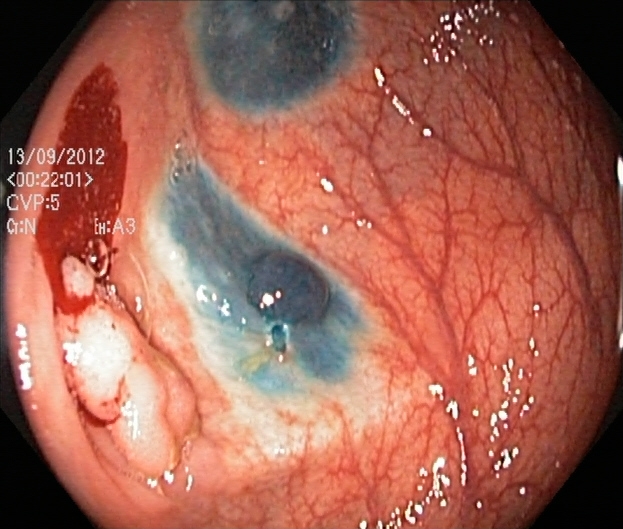{"modality": "lower gastrointestinal endoscopy", "tract": "lower GI tract", "category": "therapeutic intervention", "finding": "dyed and lifted polyp (pre-resection)"}